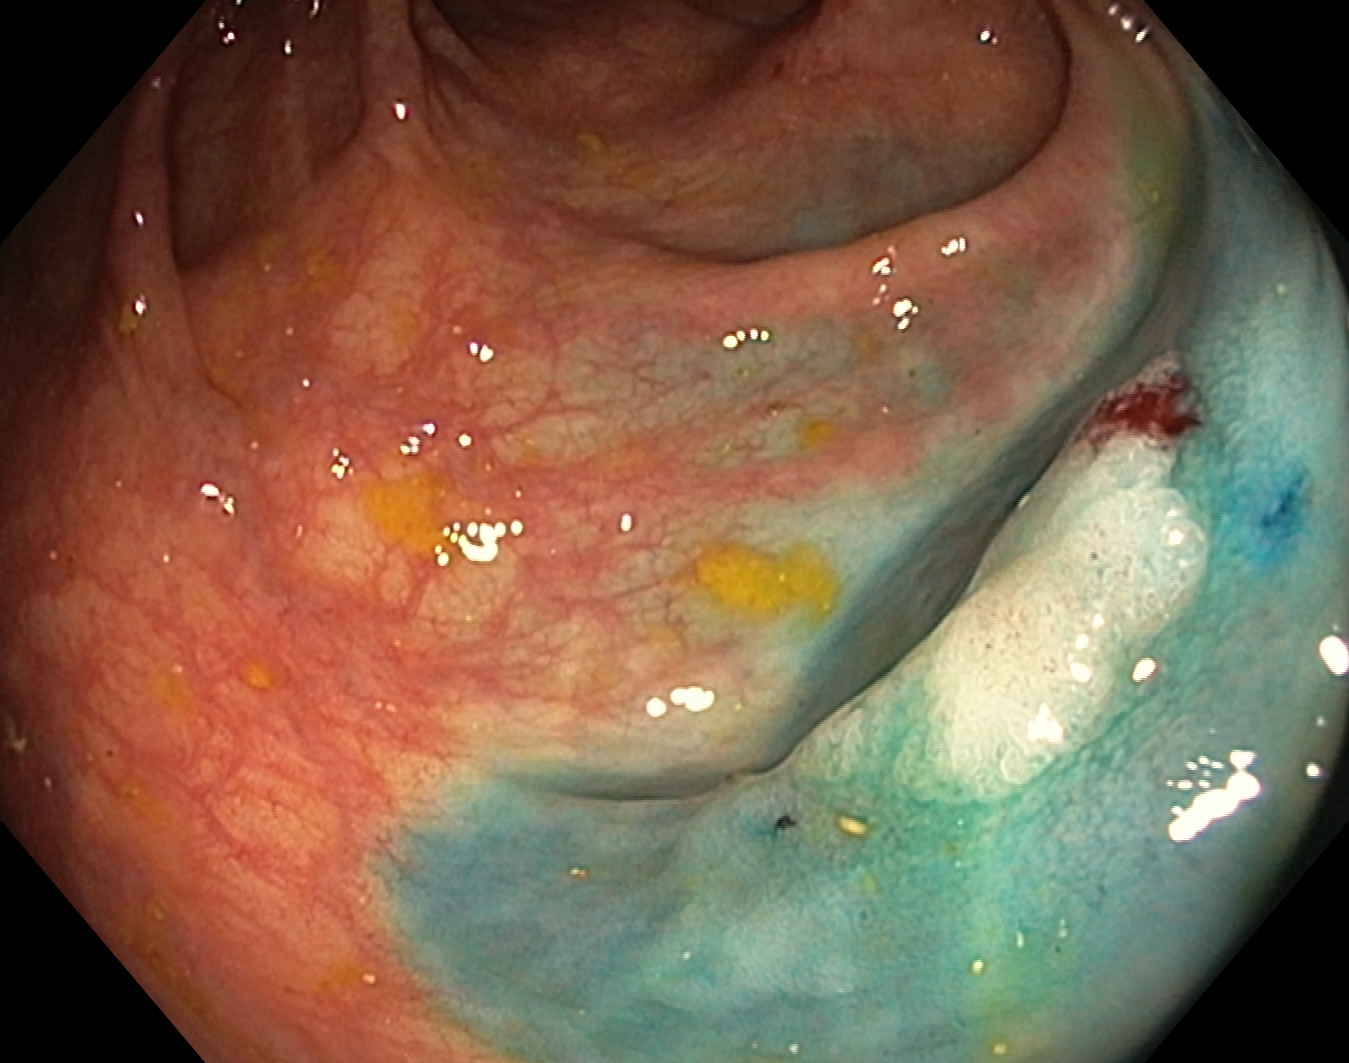PROCEDURE: Lower-GI endoscopy.
FINDINGS: Dyed and lifted polyp (pre-resection).